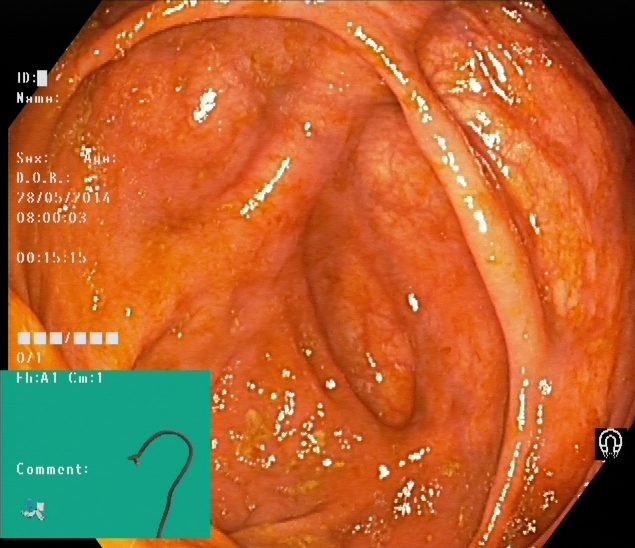modality: lower-GI endoscopy | finding: cecum